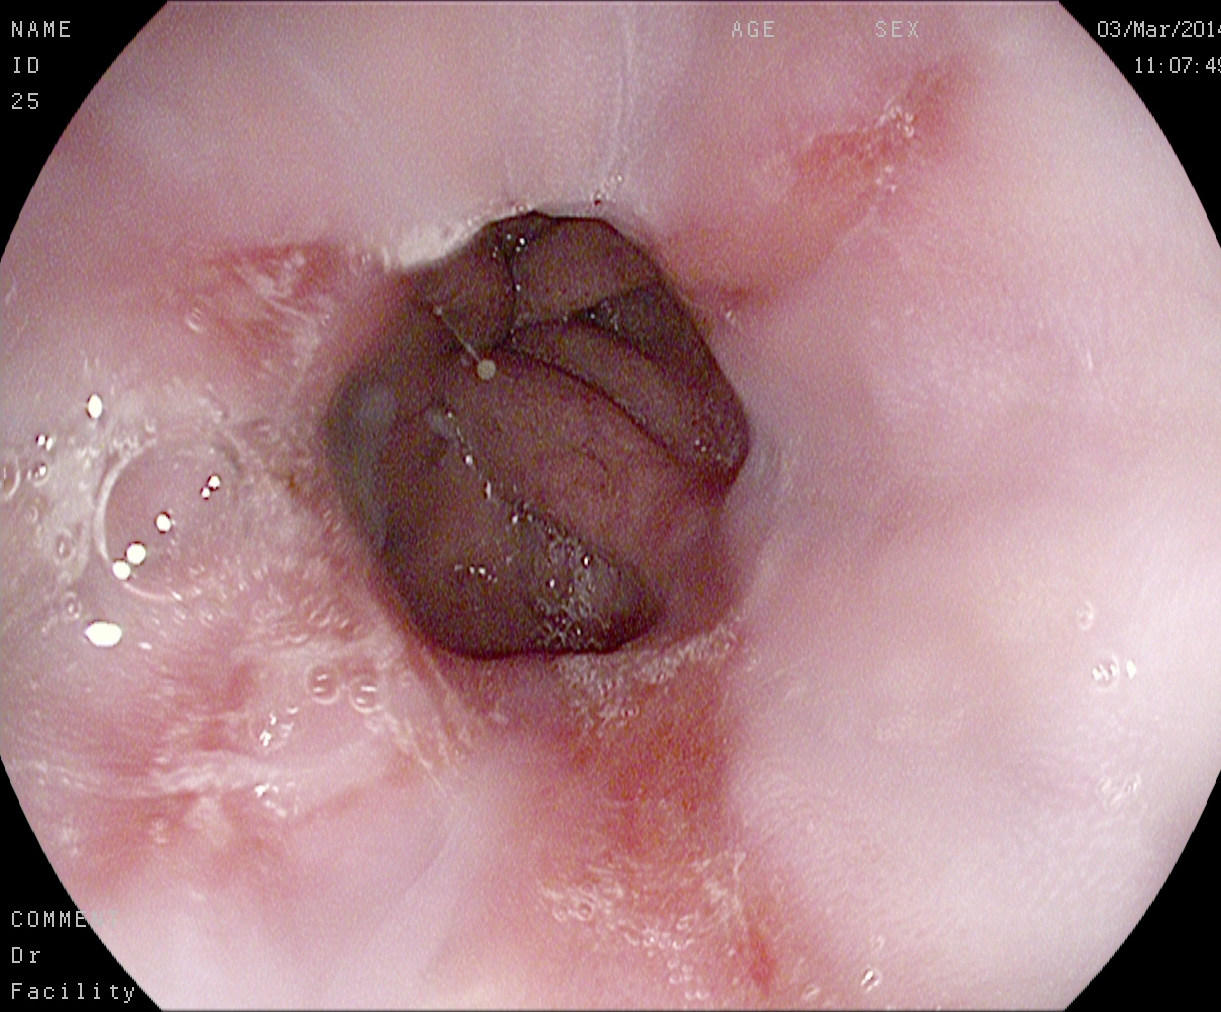Reflux esophagitis, Los Angeles grade B–D.